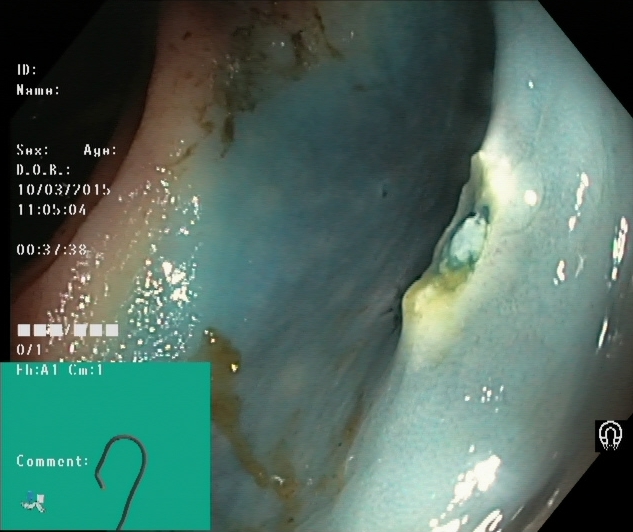Lower gastrointestinal endoscopy. Therapeutic intervention. Finding: dyed resection margins (post-polypectomy).